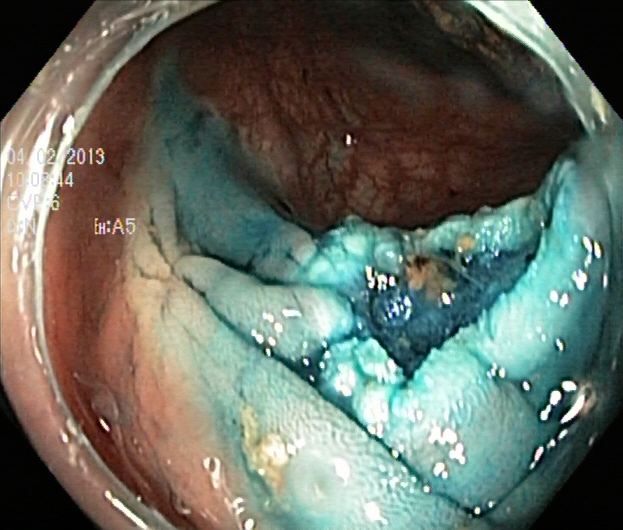PROCEDURE: Colonoscopy.
FINDINGS: Dyed resection margins (post-polypectomy).